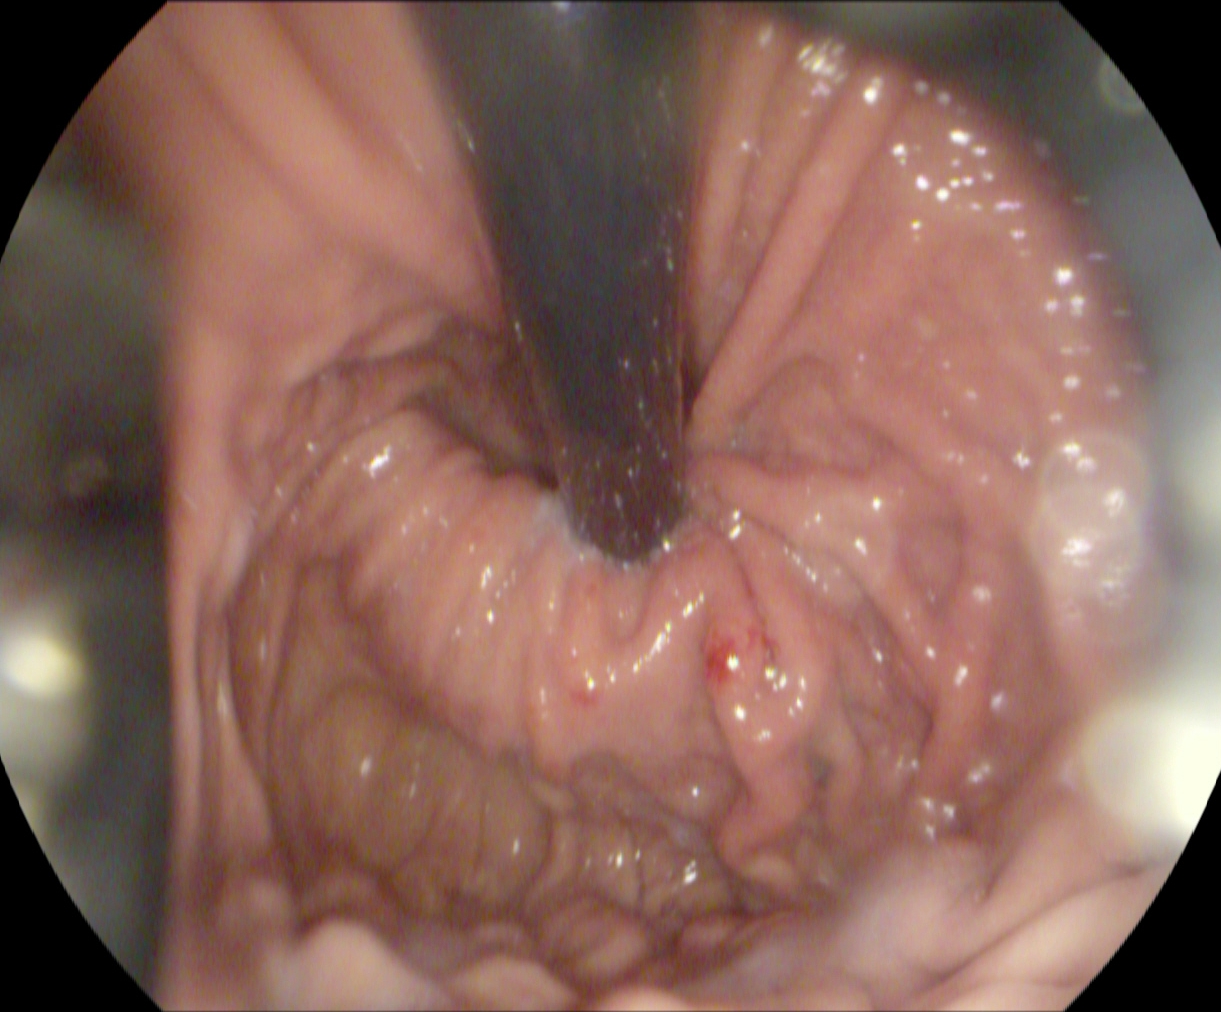Stomach in retroflexion.